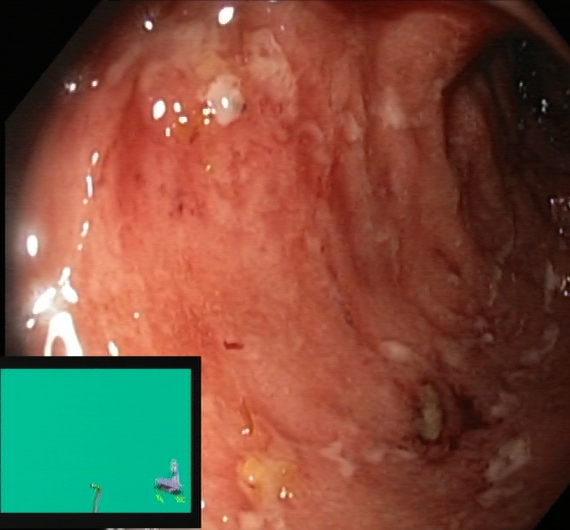{"modality": "lower gastrointestinal endoscopy", "tract": "lower GI tract", "category": "pathological finding", "finding": "ulcerative colitis, Mayo endoscopic subscore 2"}